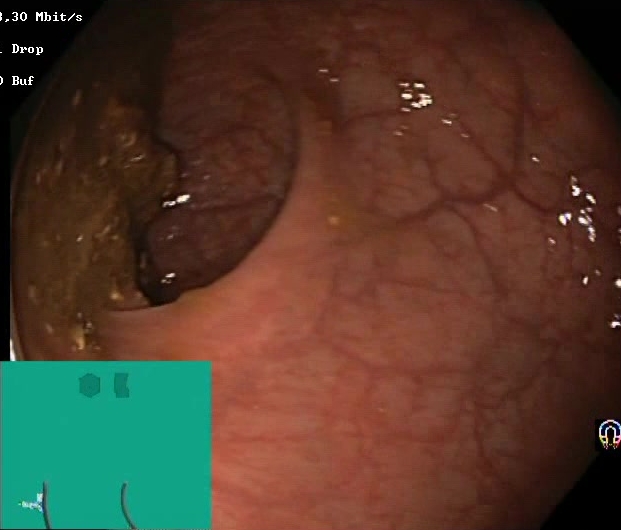This endoscopy frame of the lower GI tract shows BBPS score 0–1 (inadequate preparation).